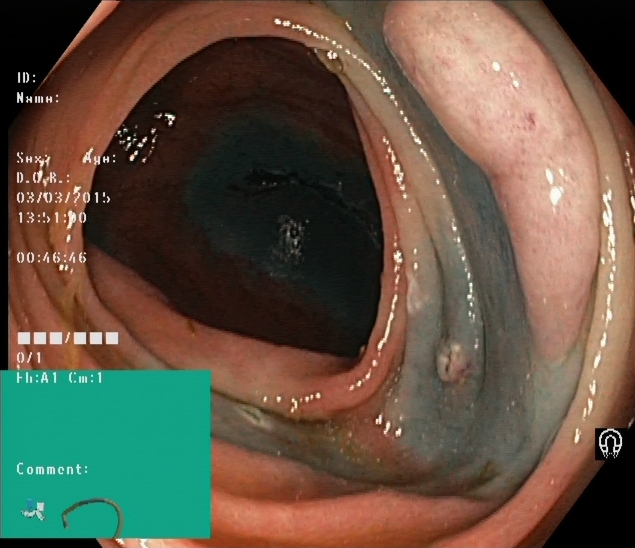{"modality": "lower-GI endoscopy", "finding": "dyed and lifted polyp (pre-resection)"}